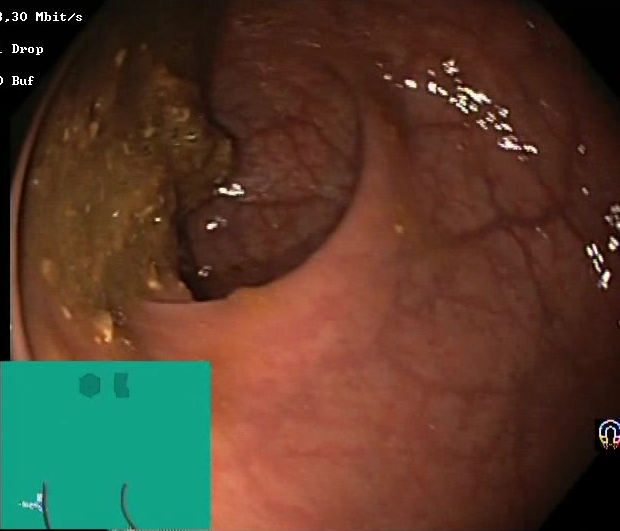PROCEDURE: Colonoscopy.
FINDINGS: Boston Bowel Preparation Scale score 0–1 (inadequate preparation).